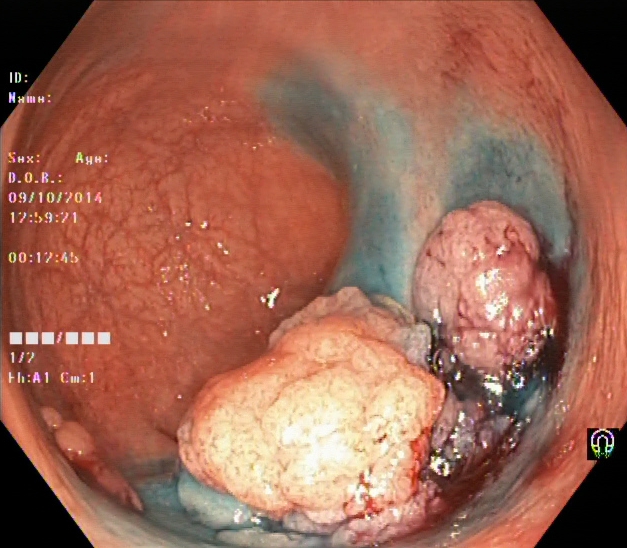modality: lower-GI endoscopy | tract: lower GI tract | category: therapeutic intervention | finding: dyed and lifted polyp (pre-resection)